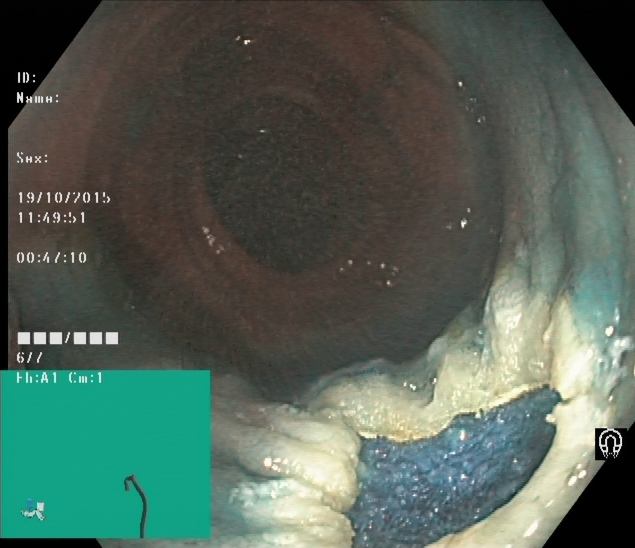modality: lower gastrointestinal endoscopy | tract: lower GI tract | finding: dyed resection margins (post-polypectomy)